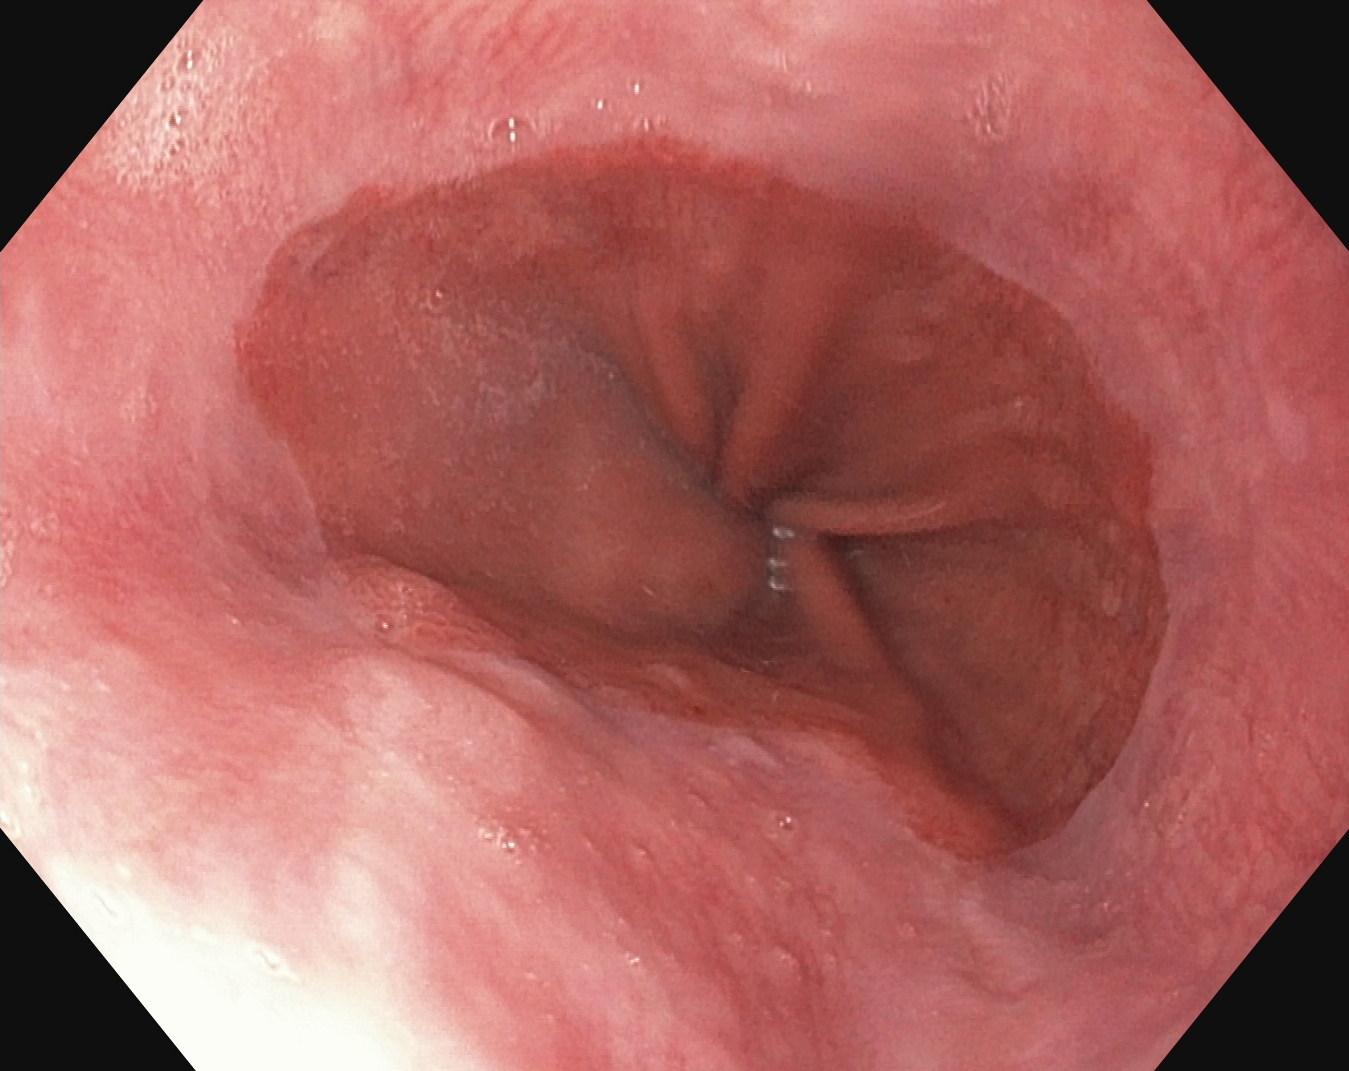Gastrointestinal endoscopy image of the upper GI tract showing Z-line (gastroesophageal junction).